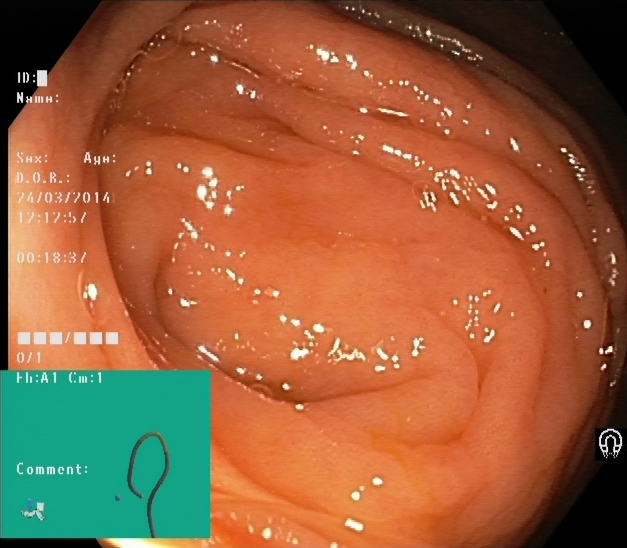Colonoscopy — cecum.